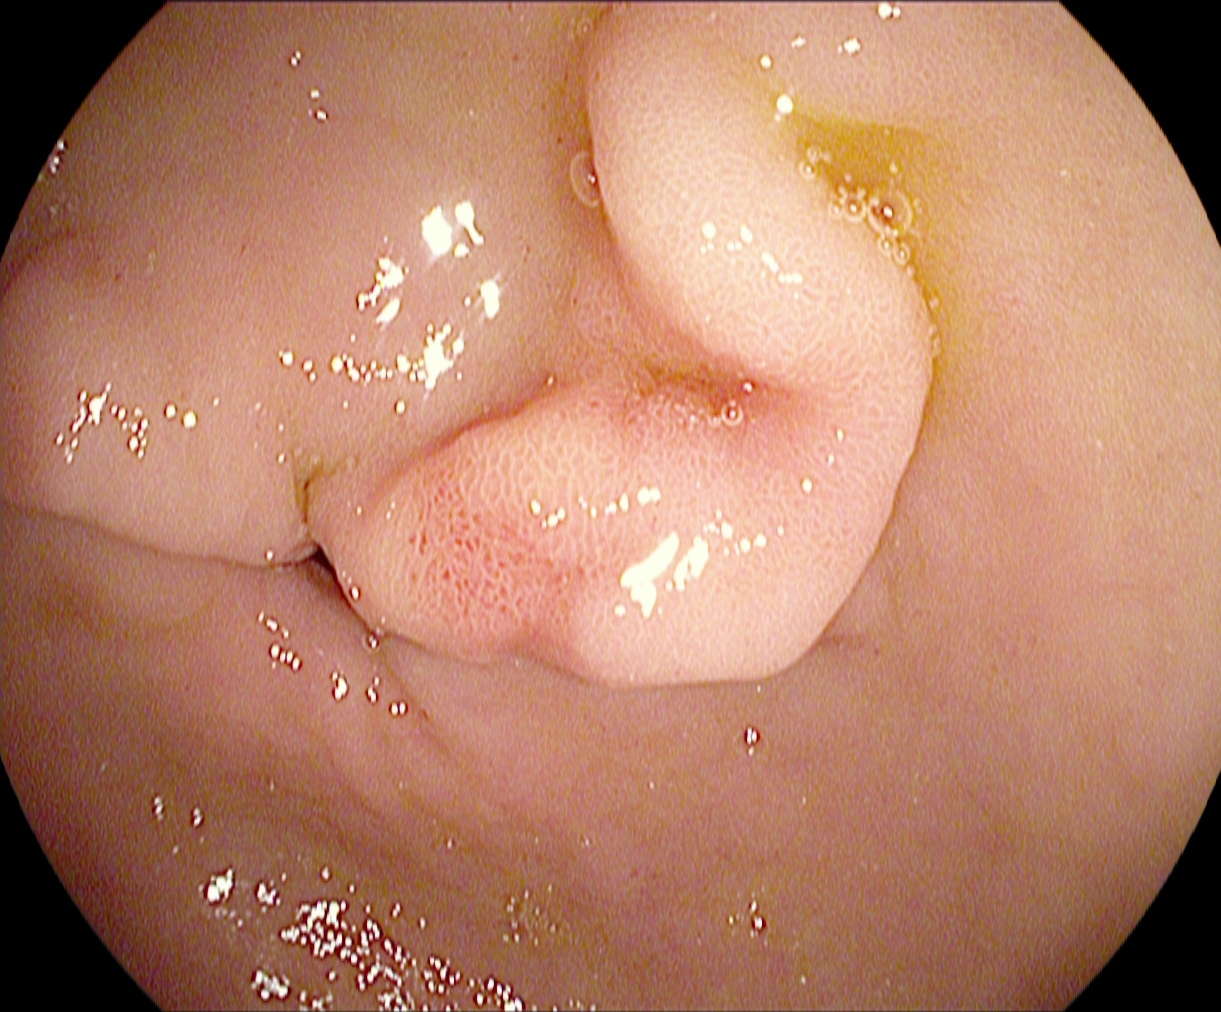{"modality": "esophagogastroduodenoscopy", "tract": "upper GI tract", "category": "anatomical landmark", "finding": "pylorus"}